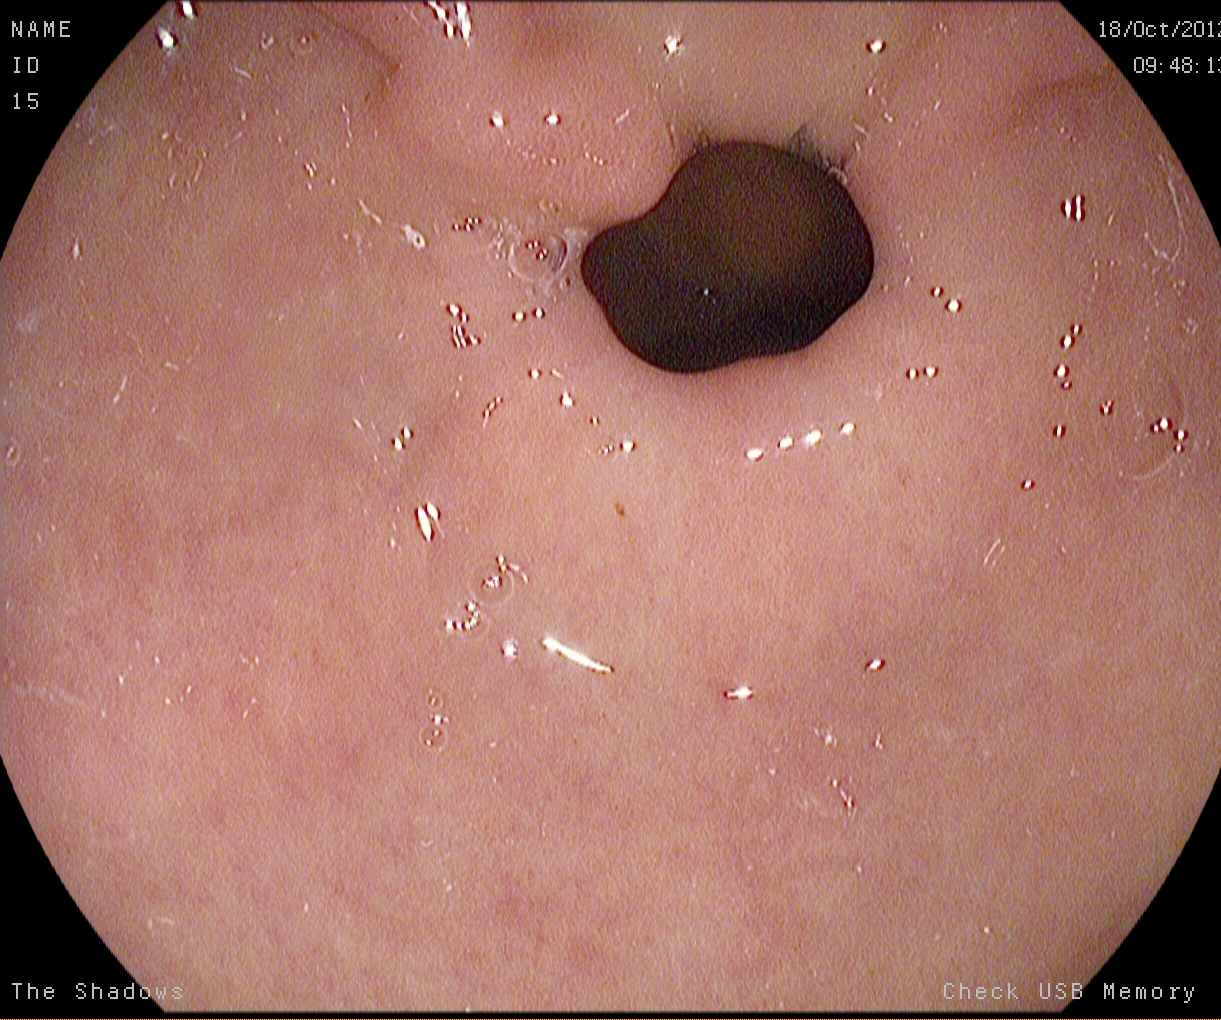pylorus.